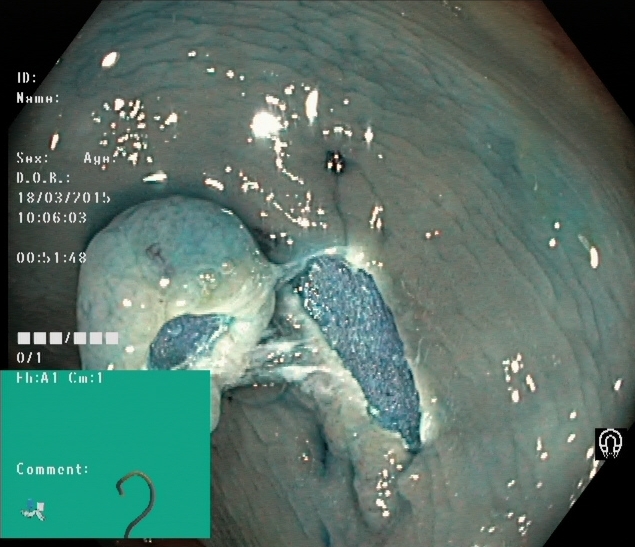This endoscopic image shows dyed and lifted polyp (pre-resection).